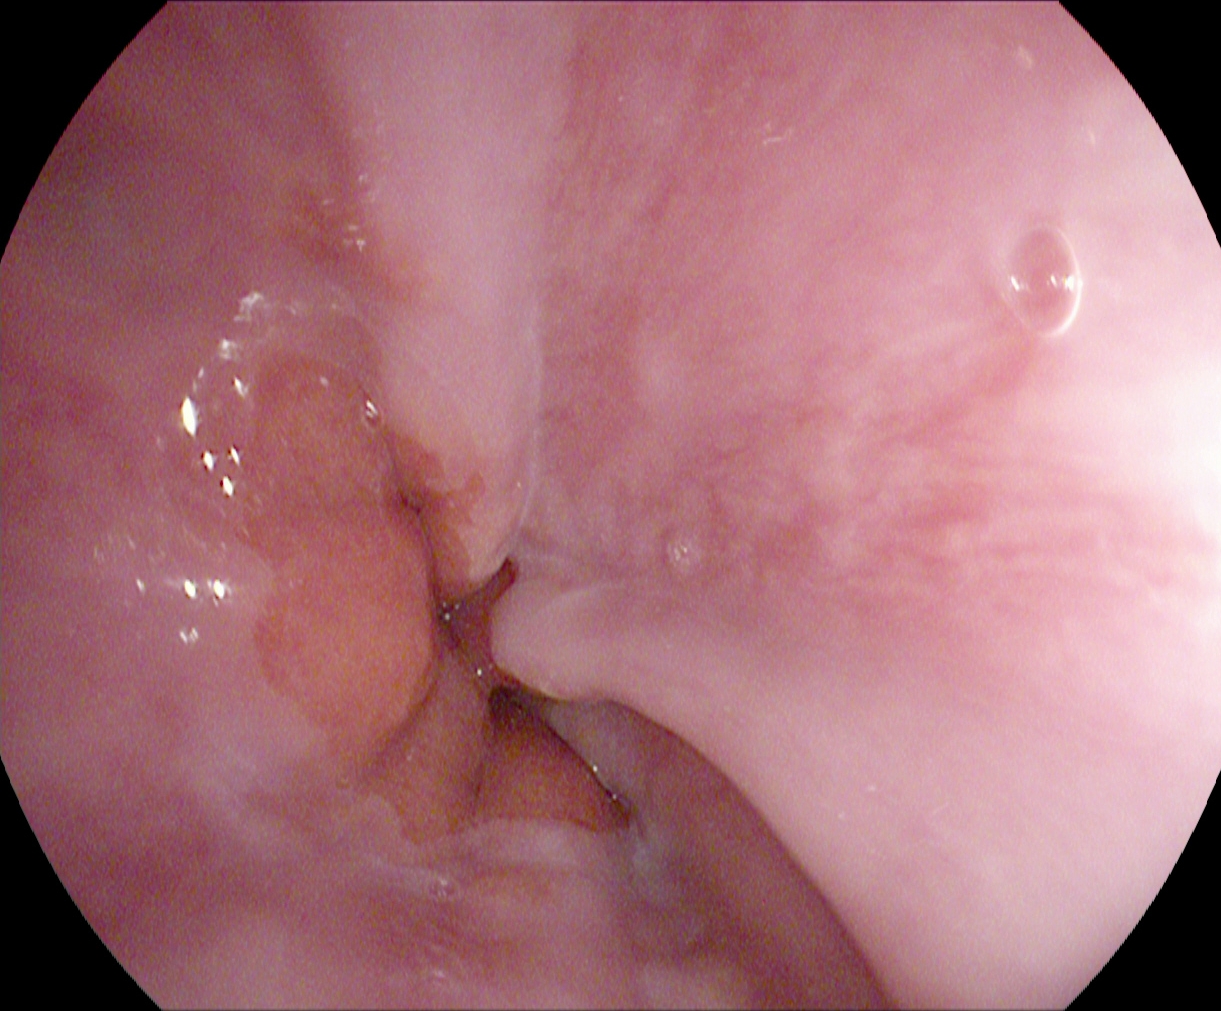Z-line (gastroesophageal junction).